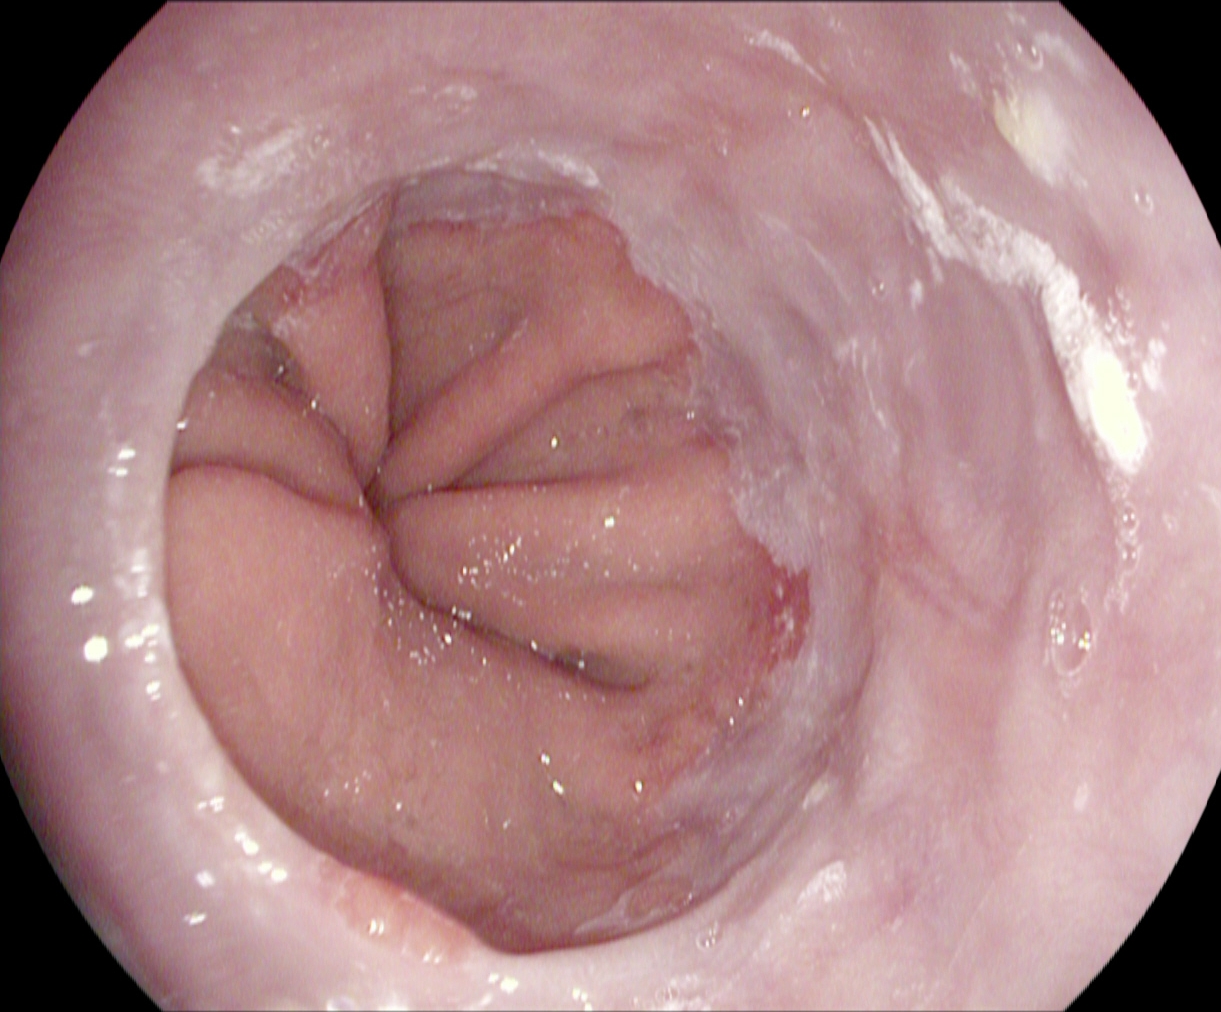modality: gastroscopy
finding: reflux esophagitis, LA grade A